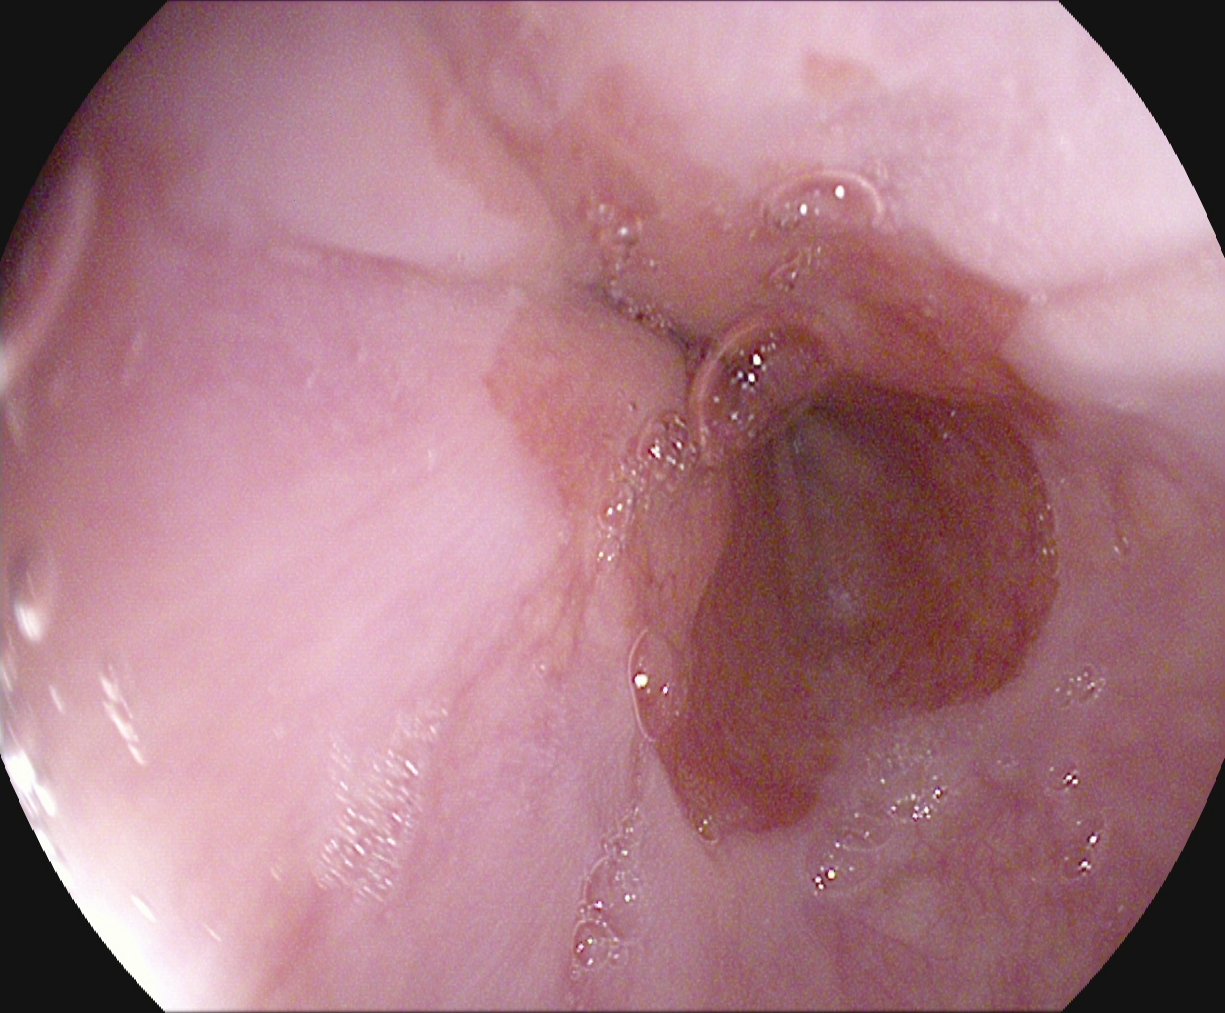PROCEDURE: Upper-GI endoscopy.
CATEGORY: Anatomical landmark.
FINDINGS: Z-line (gastroesophageal junction).